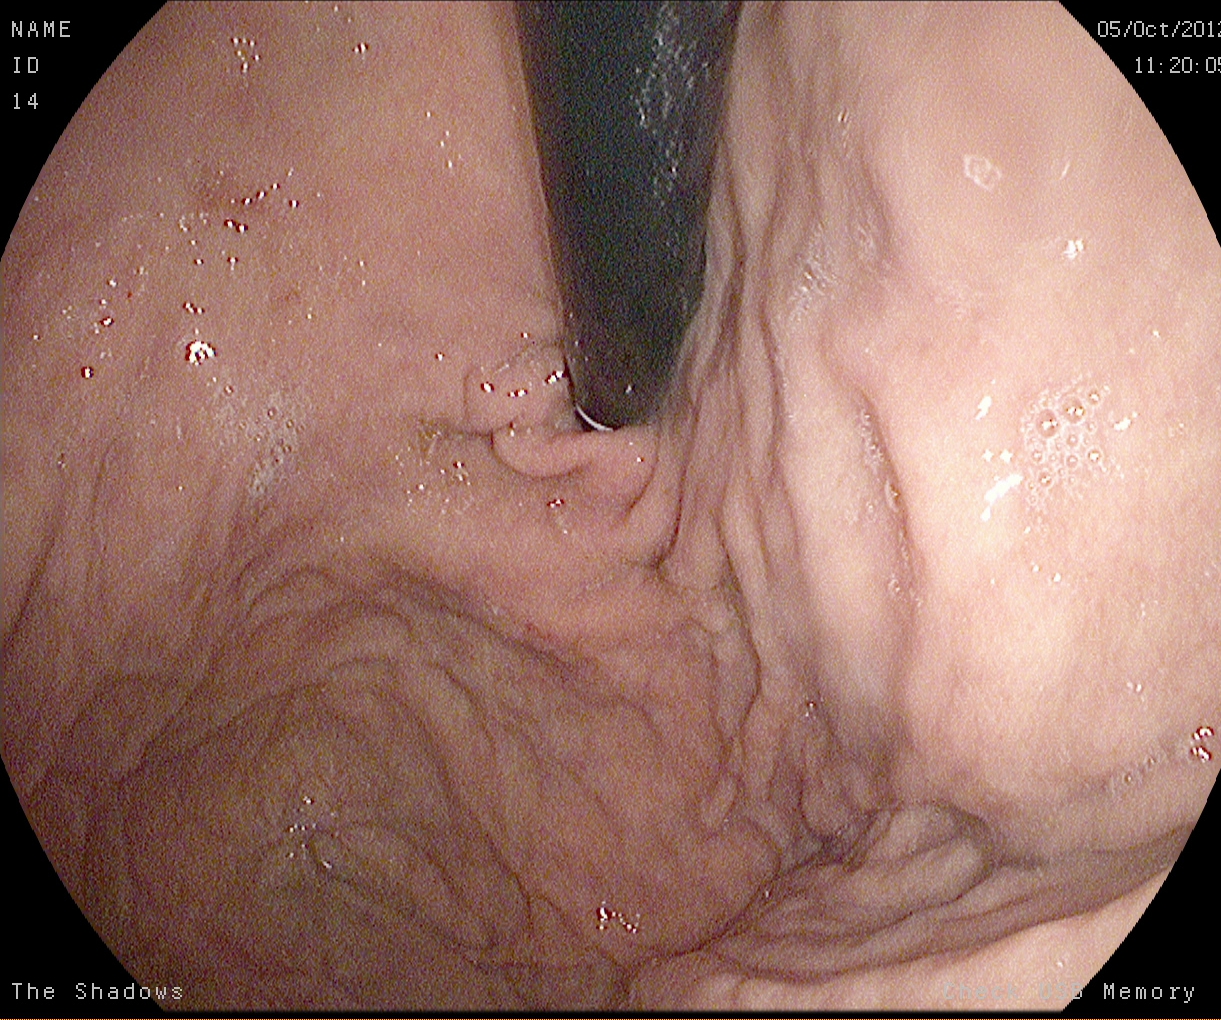EGD. Tract: upper GI tract. Anatomical landmark. Finding: stomach in retroflexion.